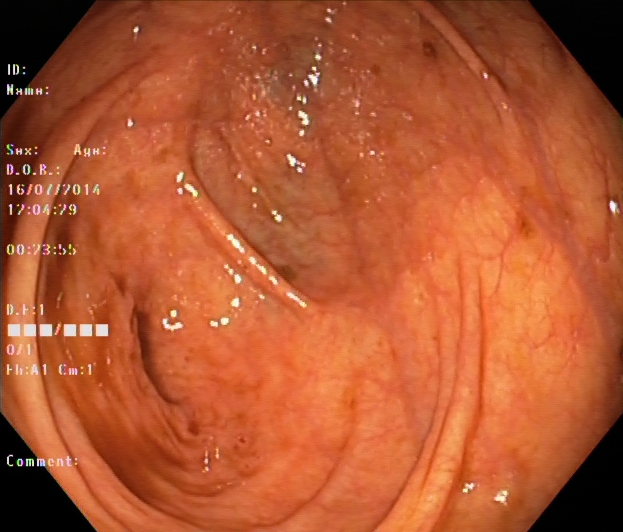Lower-GI endoscopy. Finding: cecum.